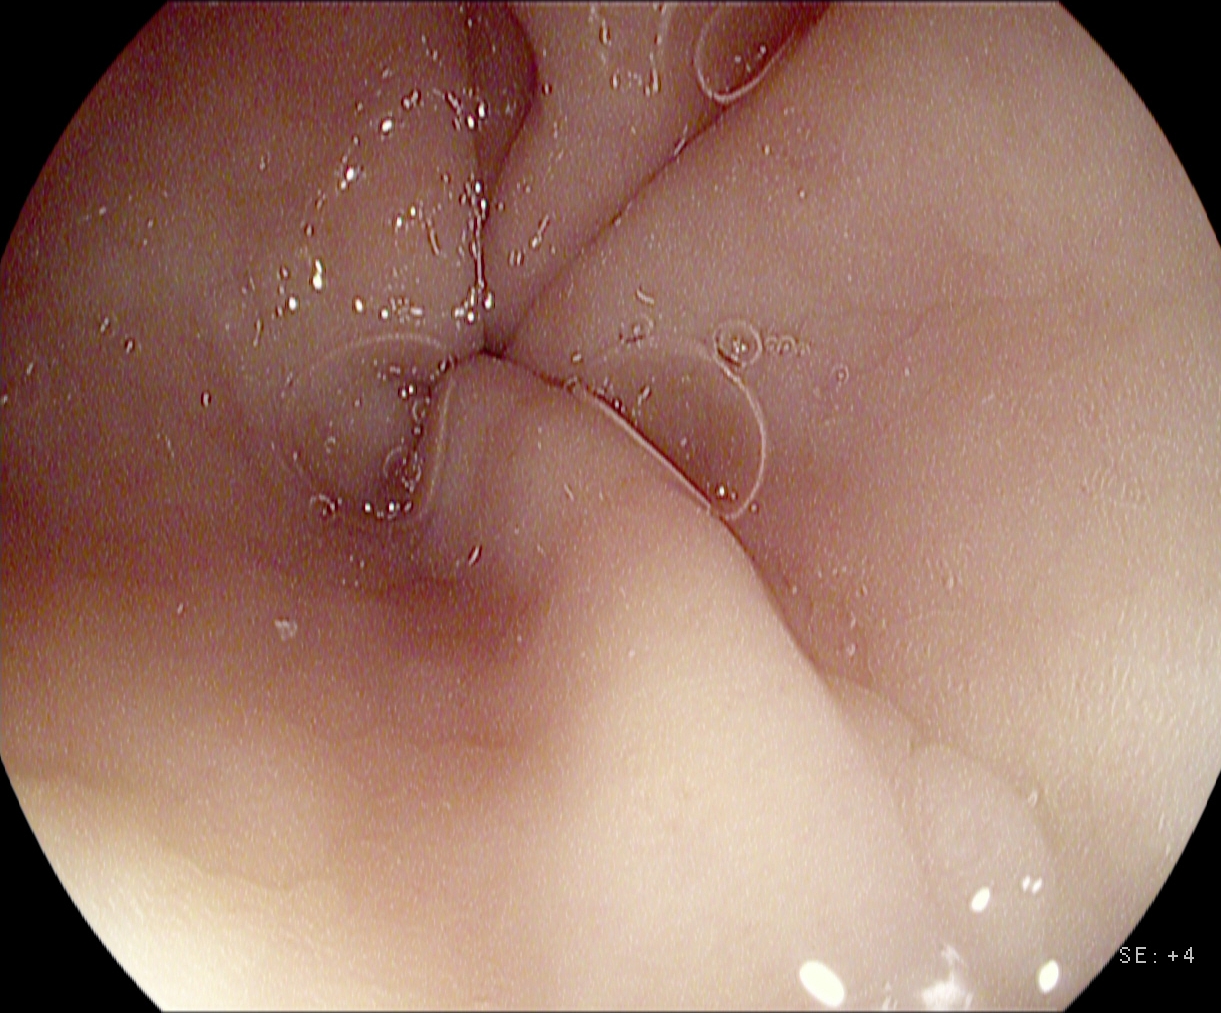Upper-GI endoscopy — pylorus.